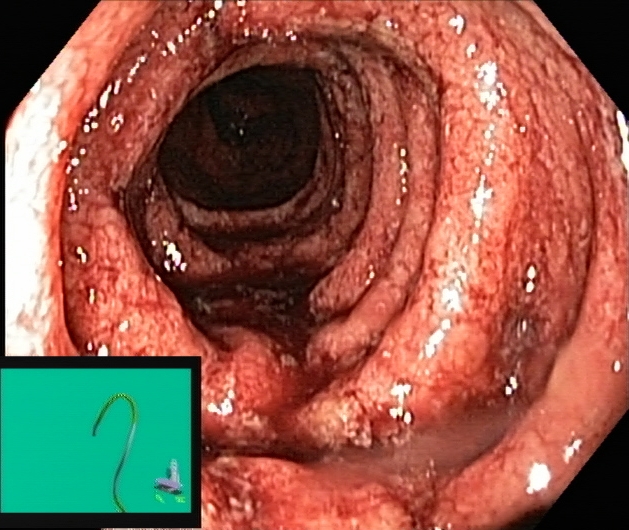PROCEDURE: Lower-GI endoscopy.
CATEGORY: Pathological finding.
FINDINGS: UC, Mayo endoscopic subscore 3.